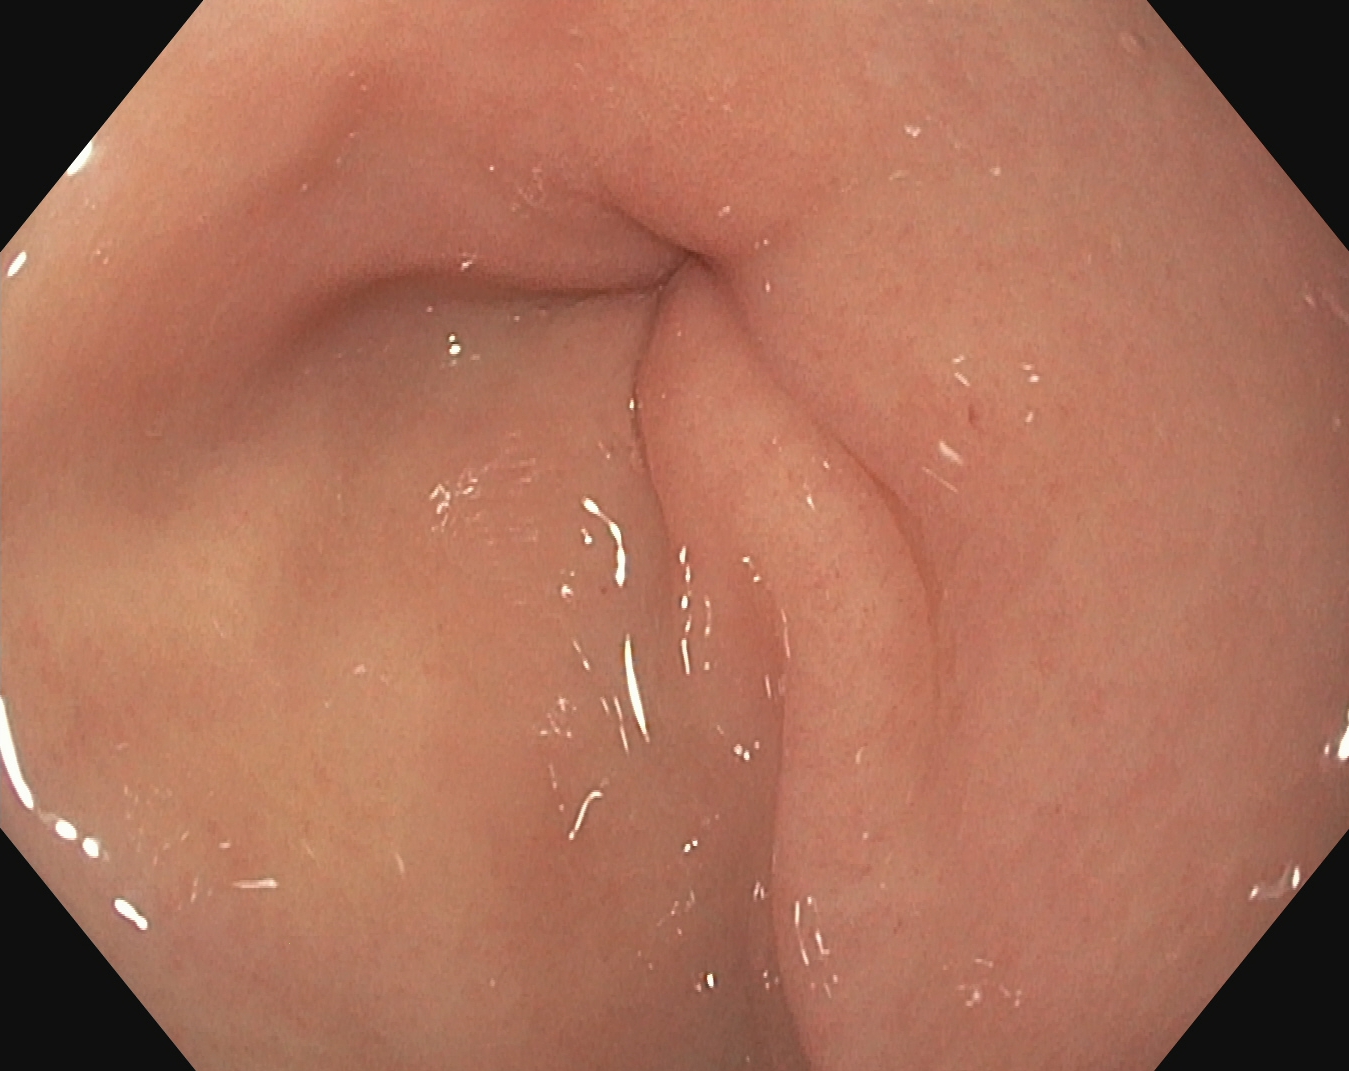{"modality": "EGD", "tract": "upper GI tract", "category": "anatomical landmark", "finding": "pylorus"}